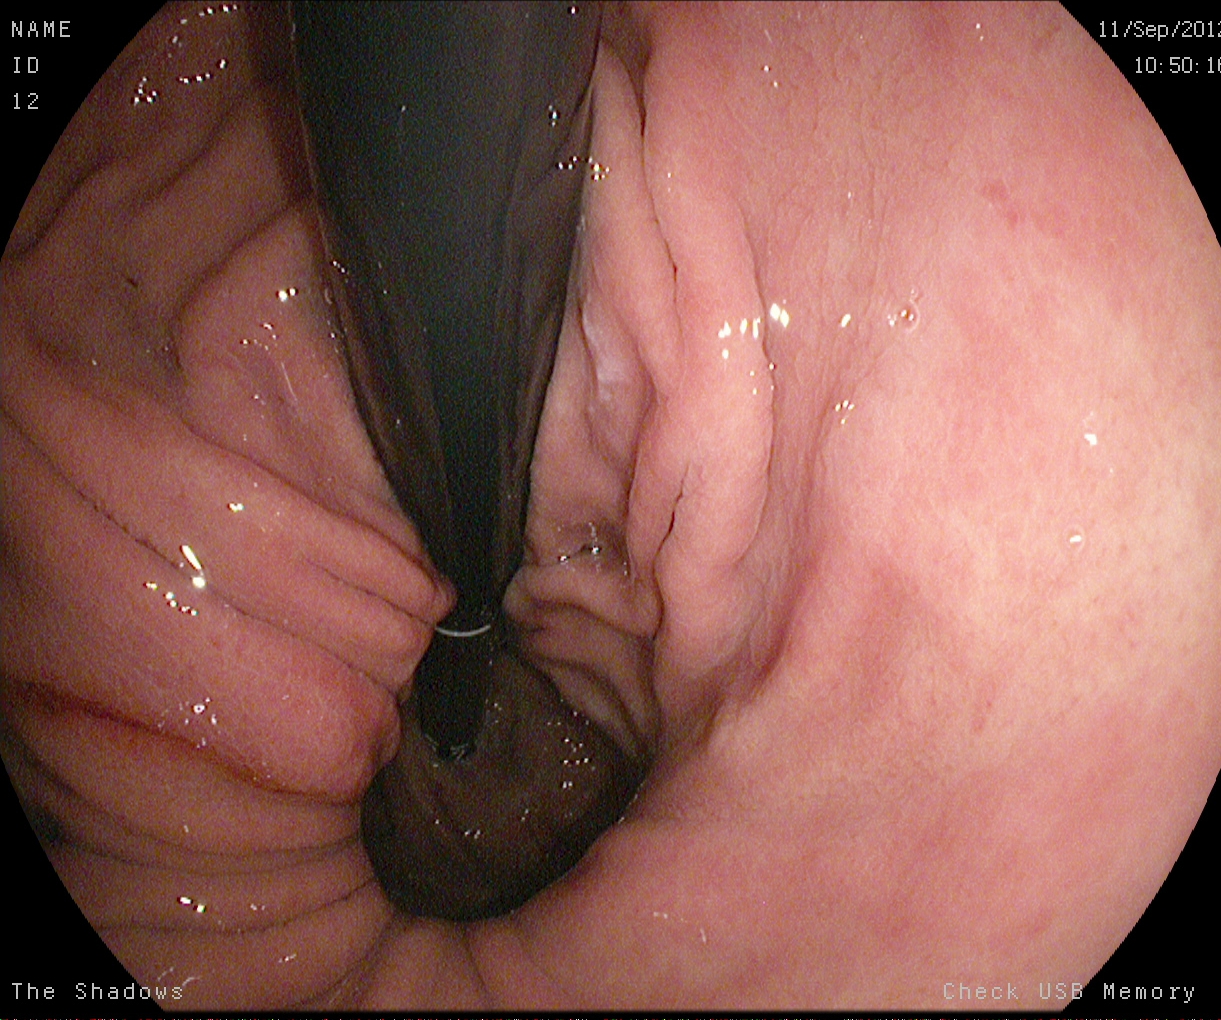This endoscopic image of the upper GI tract shows stomach in retroflexion.